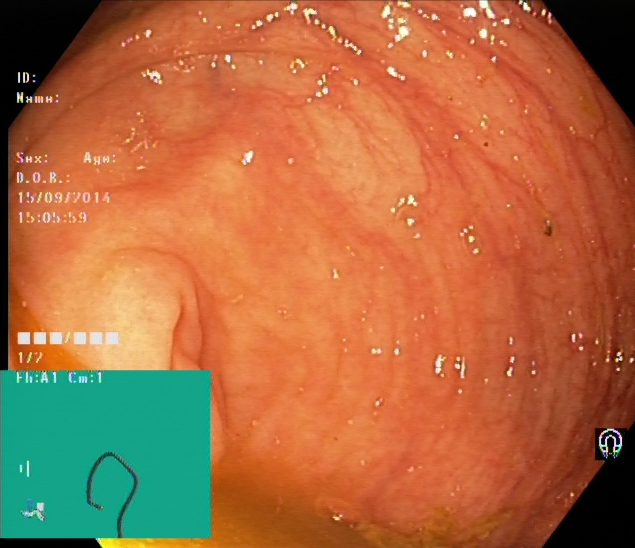Lower-GI endoscopy — cecum.